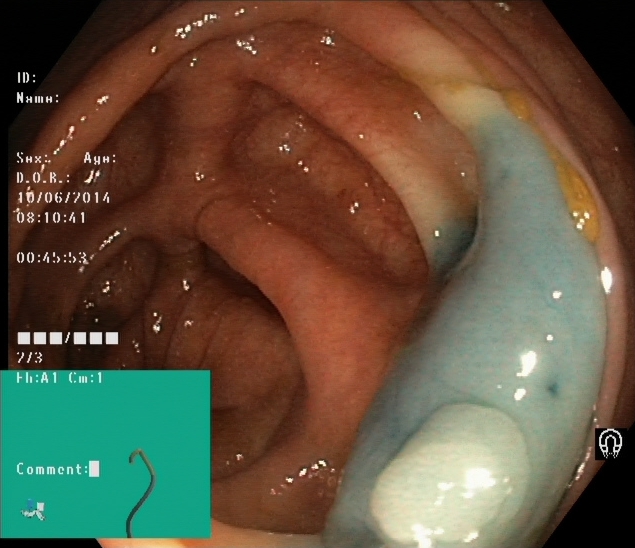PROCEDURE: Colonoscopy.
CATEGORY: Therapeutic intervention.
FINDINGS: Dyed and lifted polyp (pre-resection).